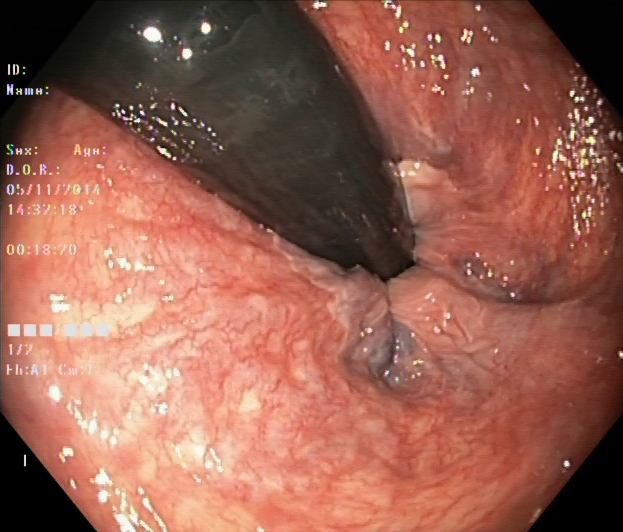{"modality": "lower gastrointestinal endoscopy", "tract": "lower GI tract", "finding": "rectum in retroflexion"}